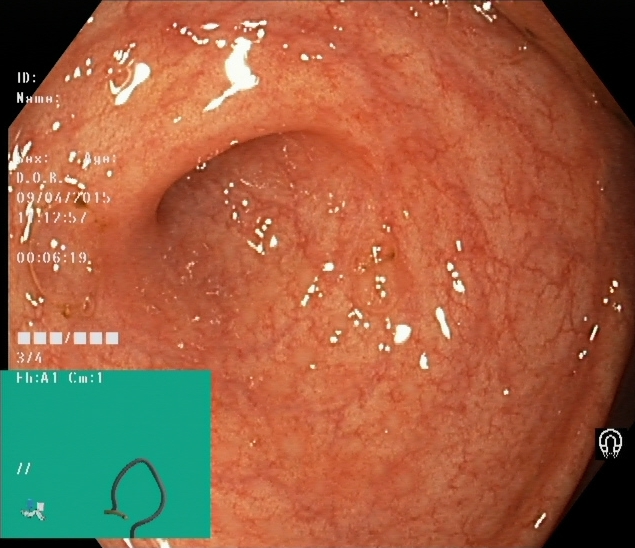{"modality": "lower-GI endoscopy", "tract": "lower GI tract", "finding": "cecum"}